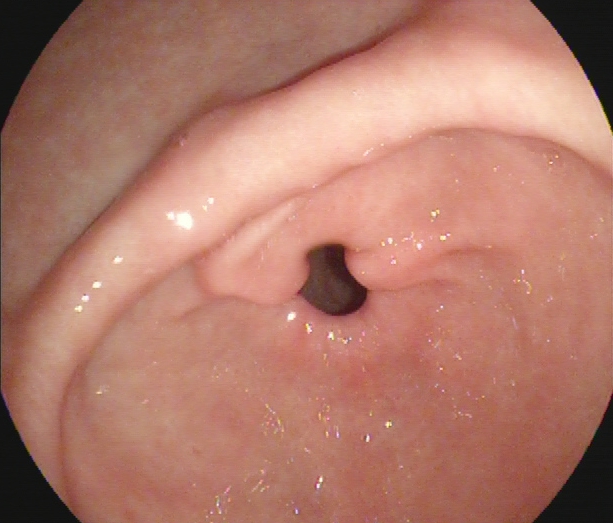Esophagogastroduodenoscopy. Tract: upper GI tract. Anatomical landmark. Finding: pylorus.